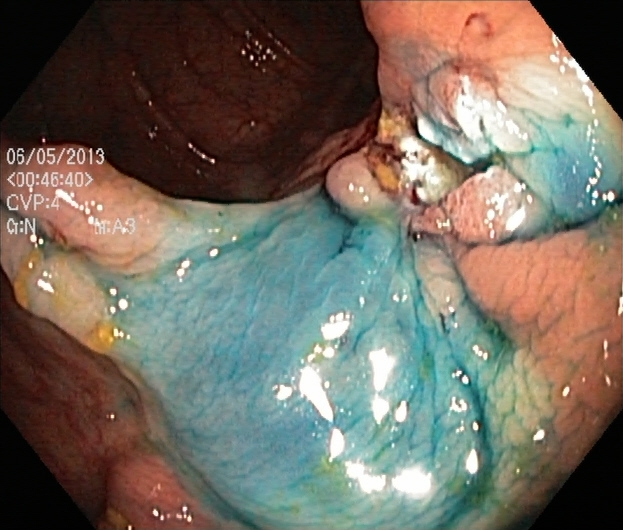Lower-GI endoscopy — dyed resection margins (post-polypectomy).